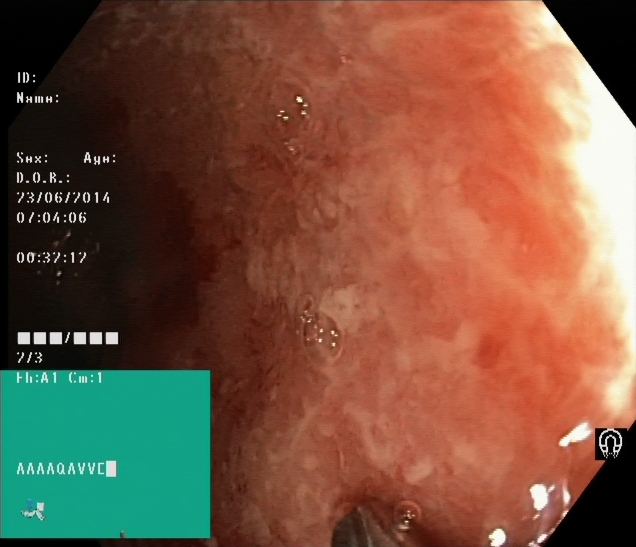modality: lower gastrointestinal endoscopy | tract: lower GI tract | finding: ulcerative colitis, Mayo endoscopic subscore 2